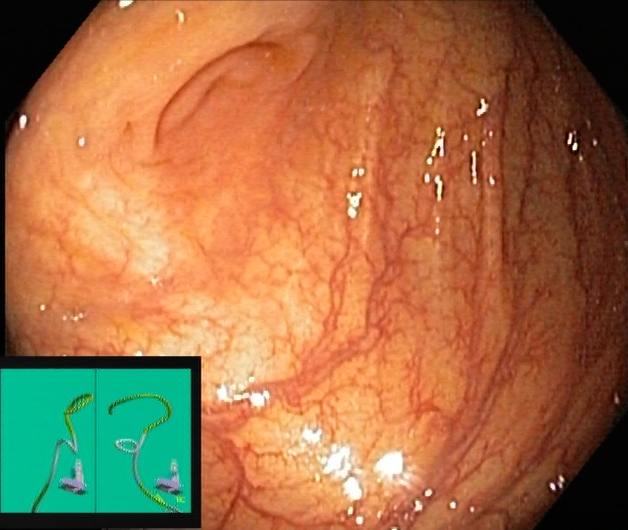Cecum.